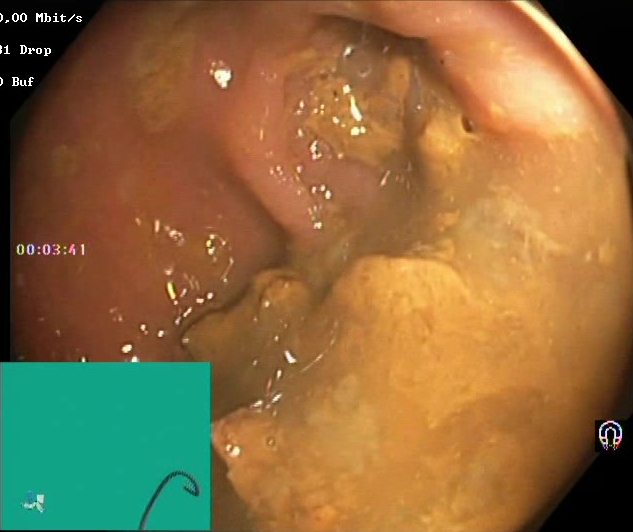PROCEDURE: Colonoscopy.
FINDINGS: Boston Bowel Preparation Scale score 0–1 (inadequate preparation).